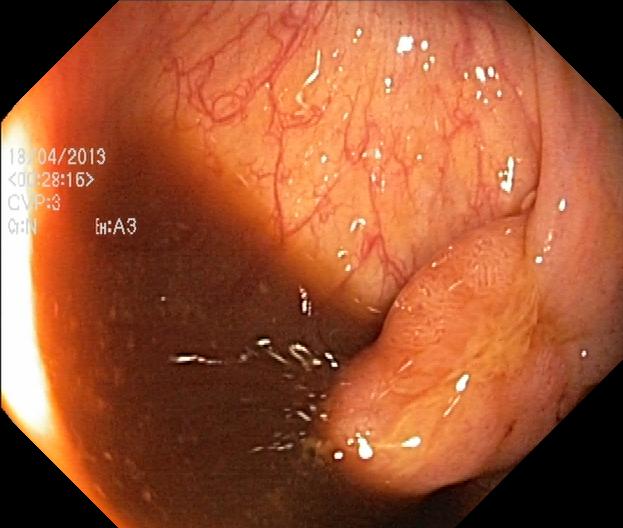PROCEDURE: Colonoscopy.
CATEGORY: Pathological finding.
FINDINGS: Colorectal polyp(s).